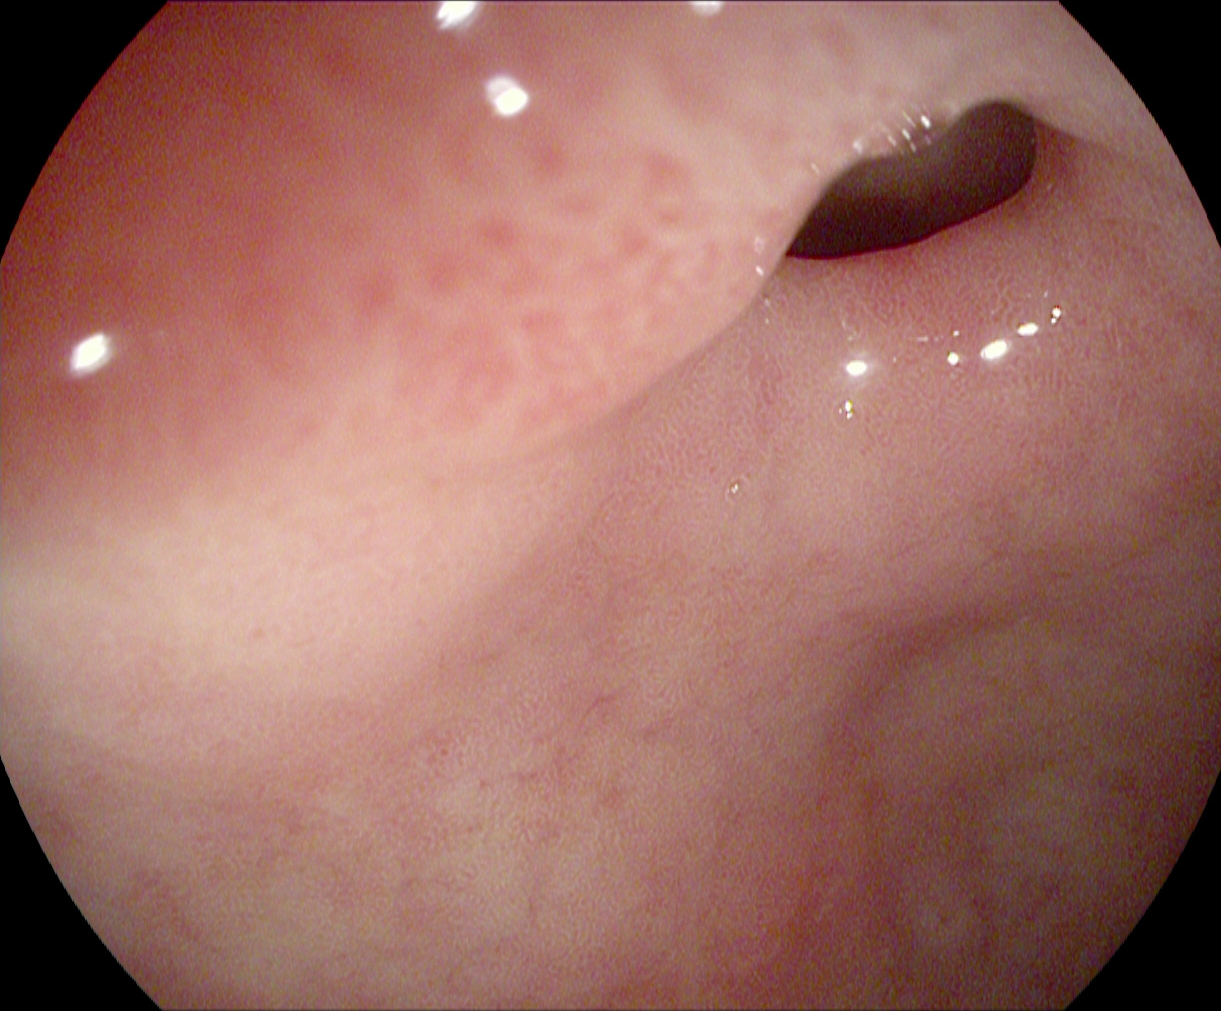{"modality": "EGD", "category": "anatomical landmark", "finding": "pylorus"}